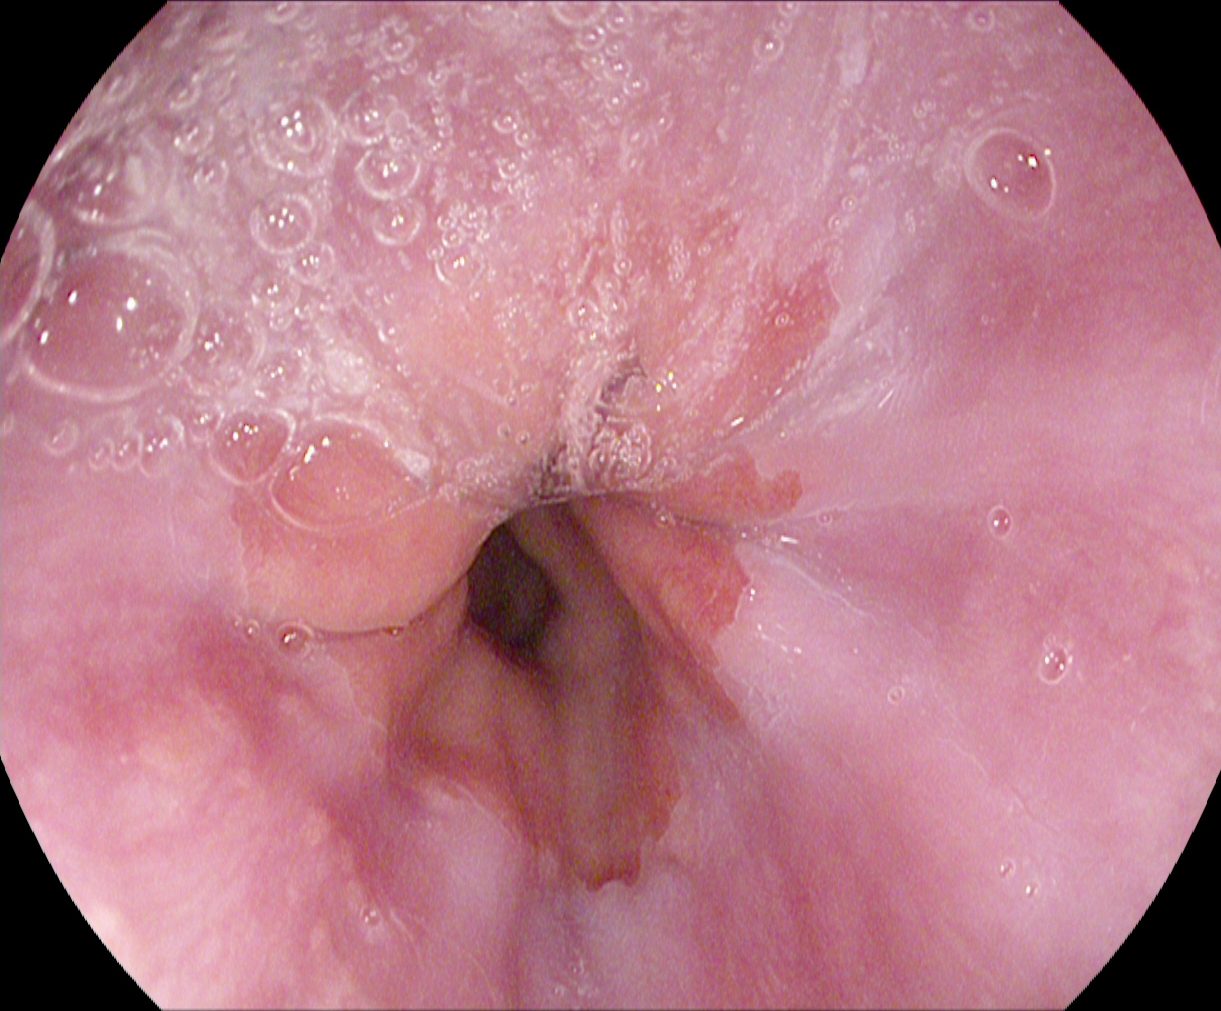This endoscopic image of the upper GI tract shows Z-line (gastroesophageal junction).